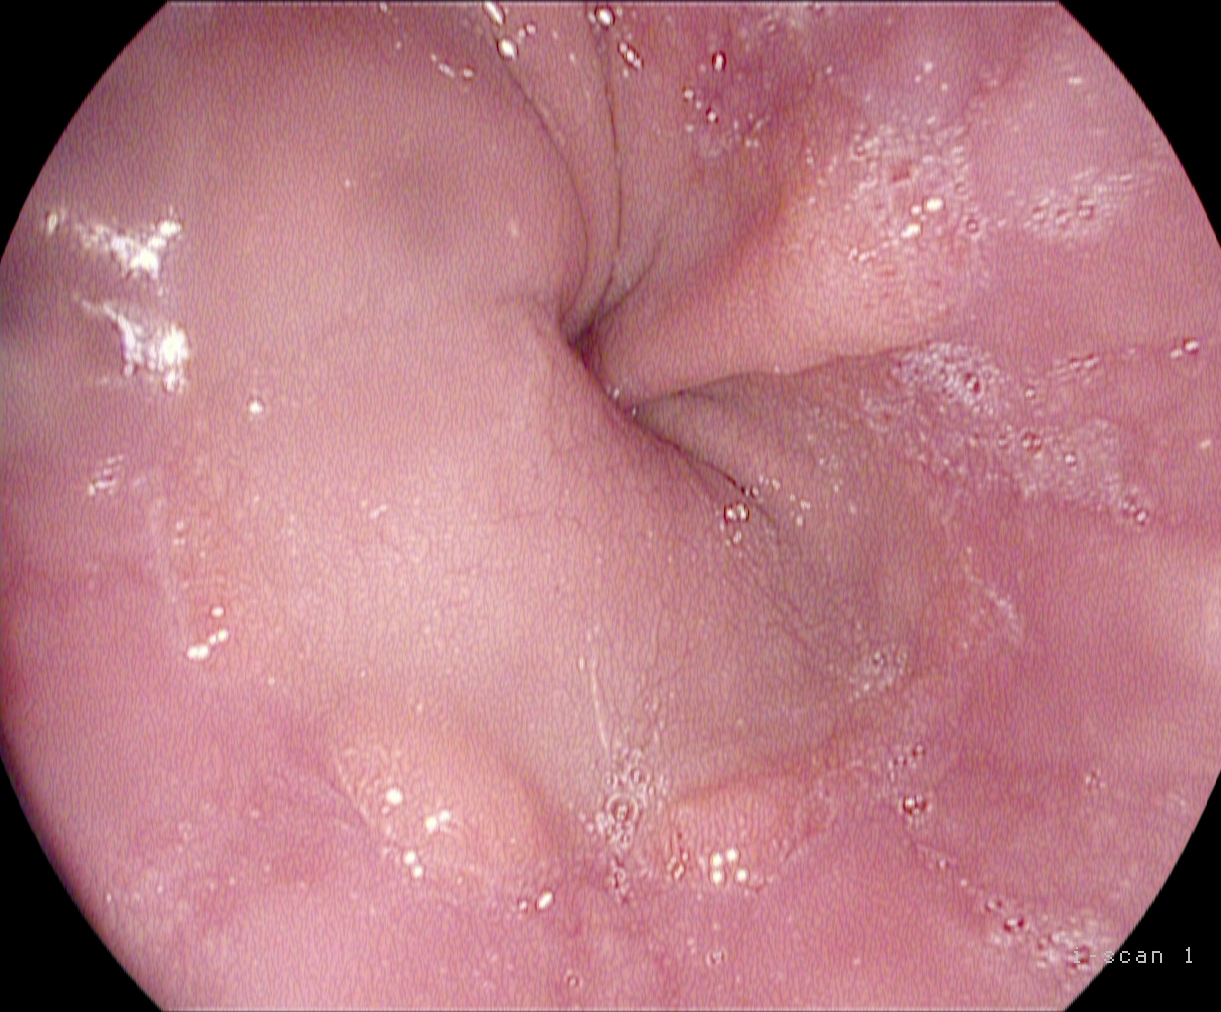Gastrointestinal endoscopy image of the upper GI tract showing Z-line (gastroesophageal junction).